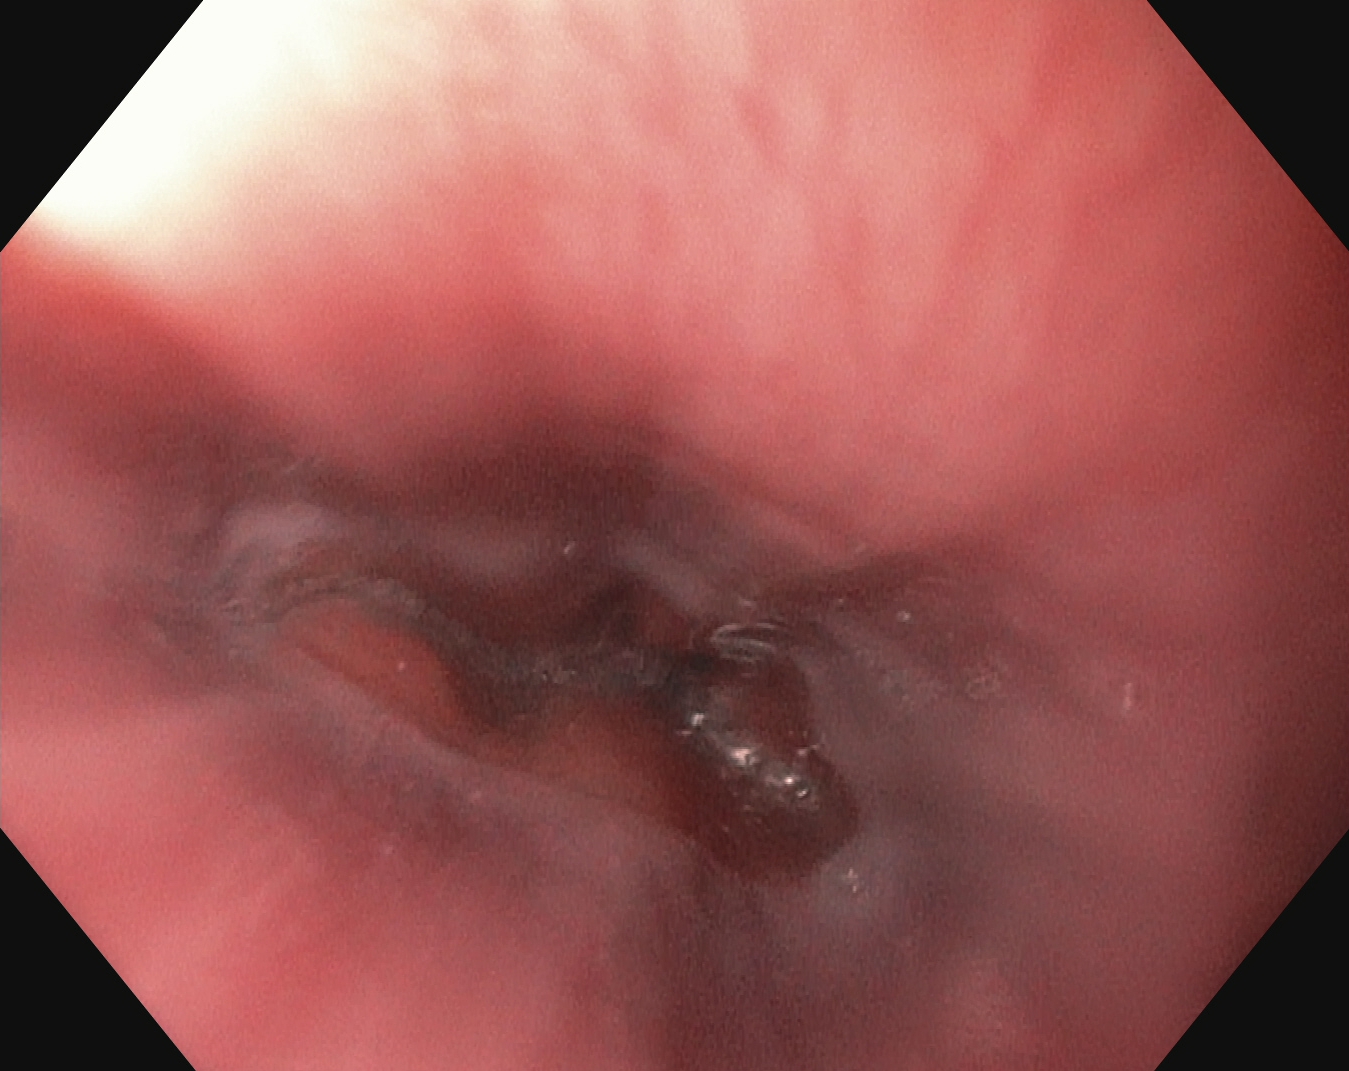modality: upper-GI endoscopy
finding: Z-line (gastroesophageal junction)